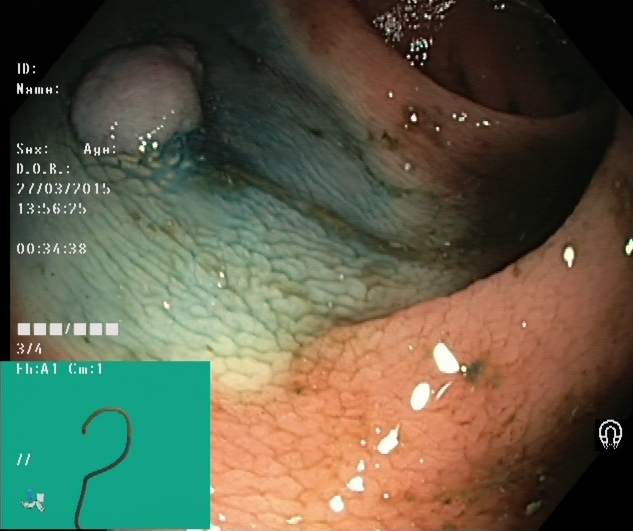Lower gastrointestinal endoscopy — dyed and lifted polyp (pre-resection).